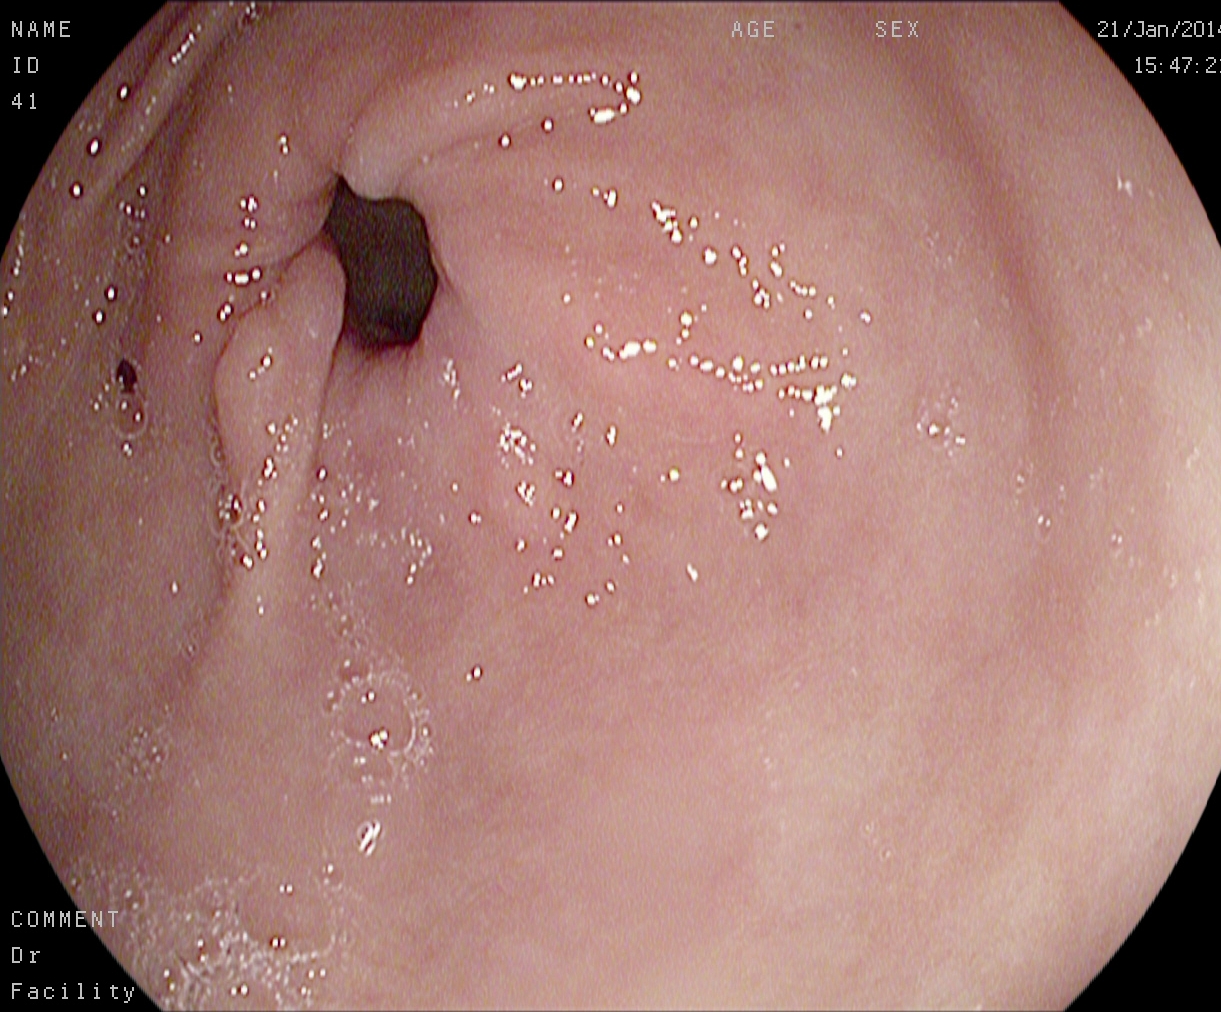GI endoscopy image of the upper GI tract showing pylorus.